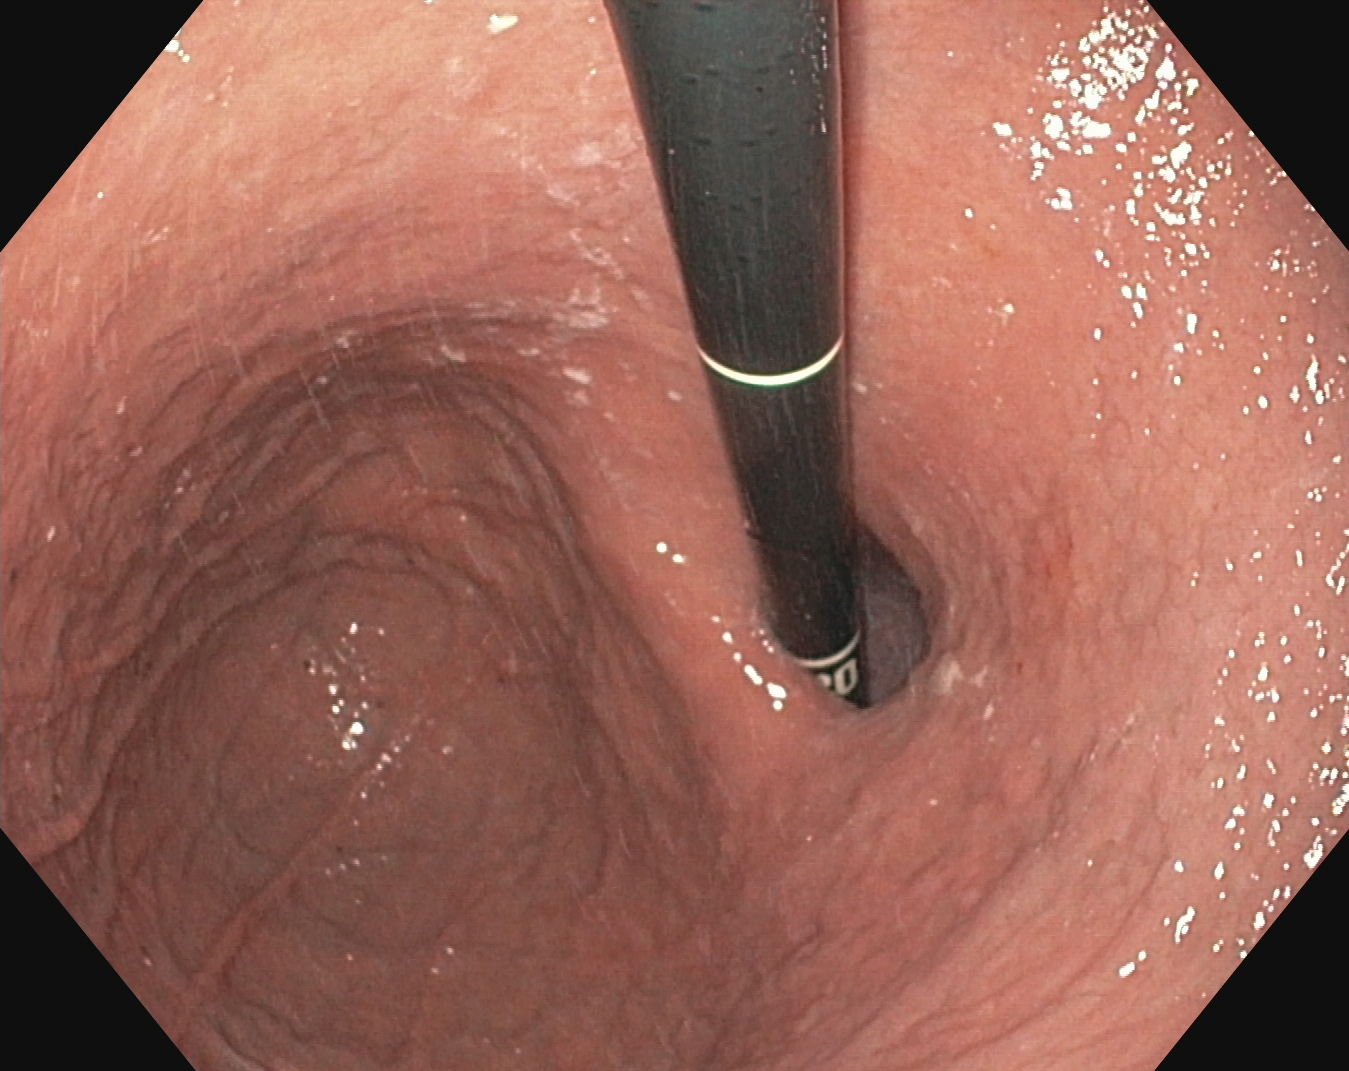{"modality": "EGD", "finding": "stomach in retroflexion"}